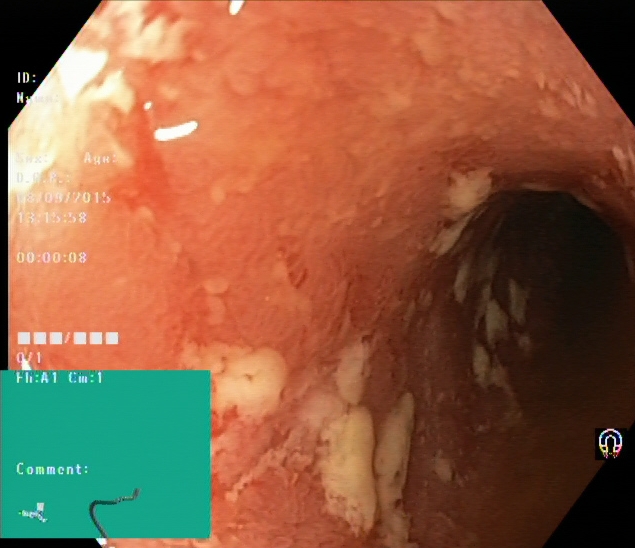This endoscopic image of the lower GI tract shows ulcerative colitis, Mayo endoscopic subscore 1.